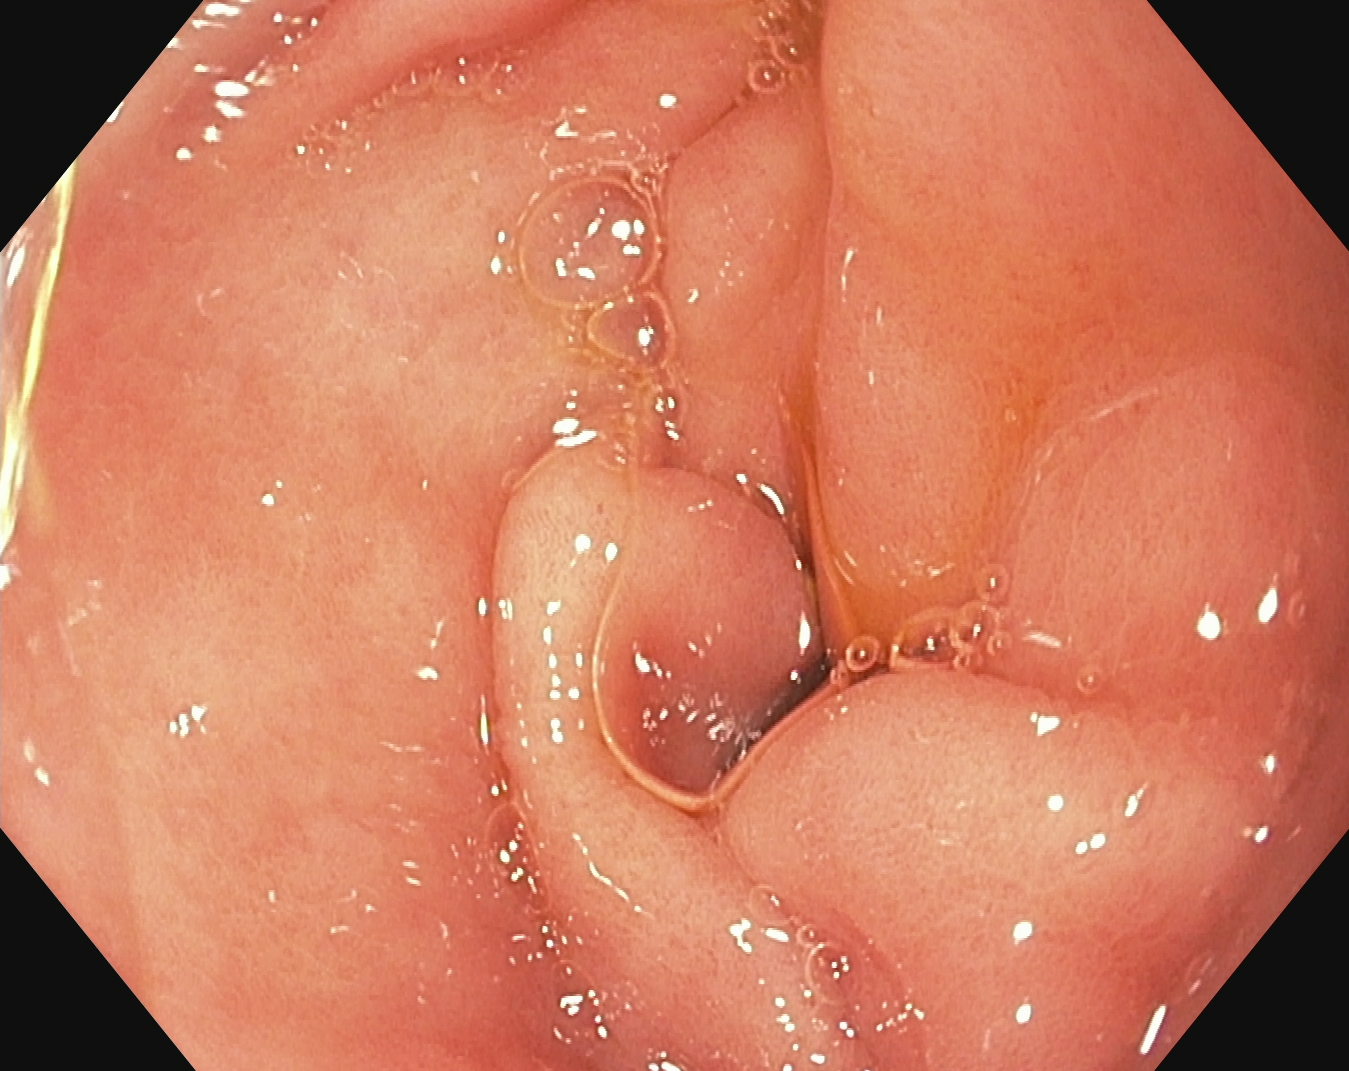PROCEDURE: Gastroscopy.
CATEGORY: Anatomical landmark.
FINDINGS: Pylorus.